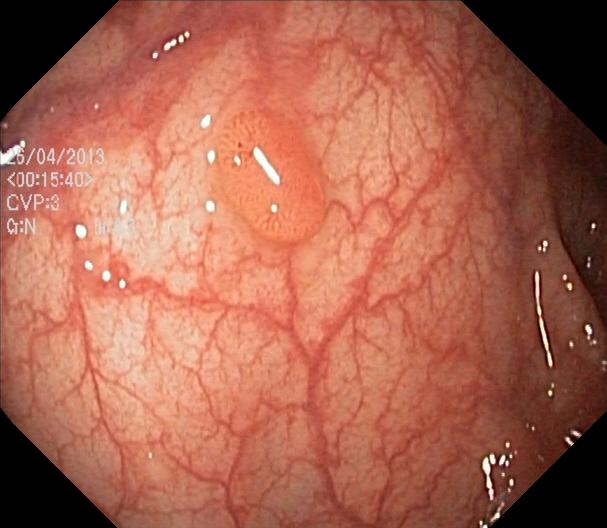This endoscopic image shows colorectal polyp(s).